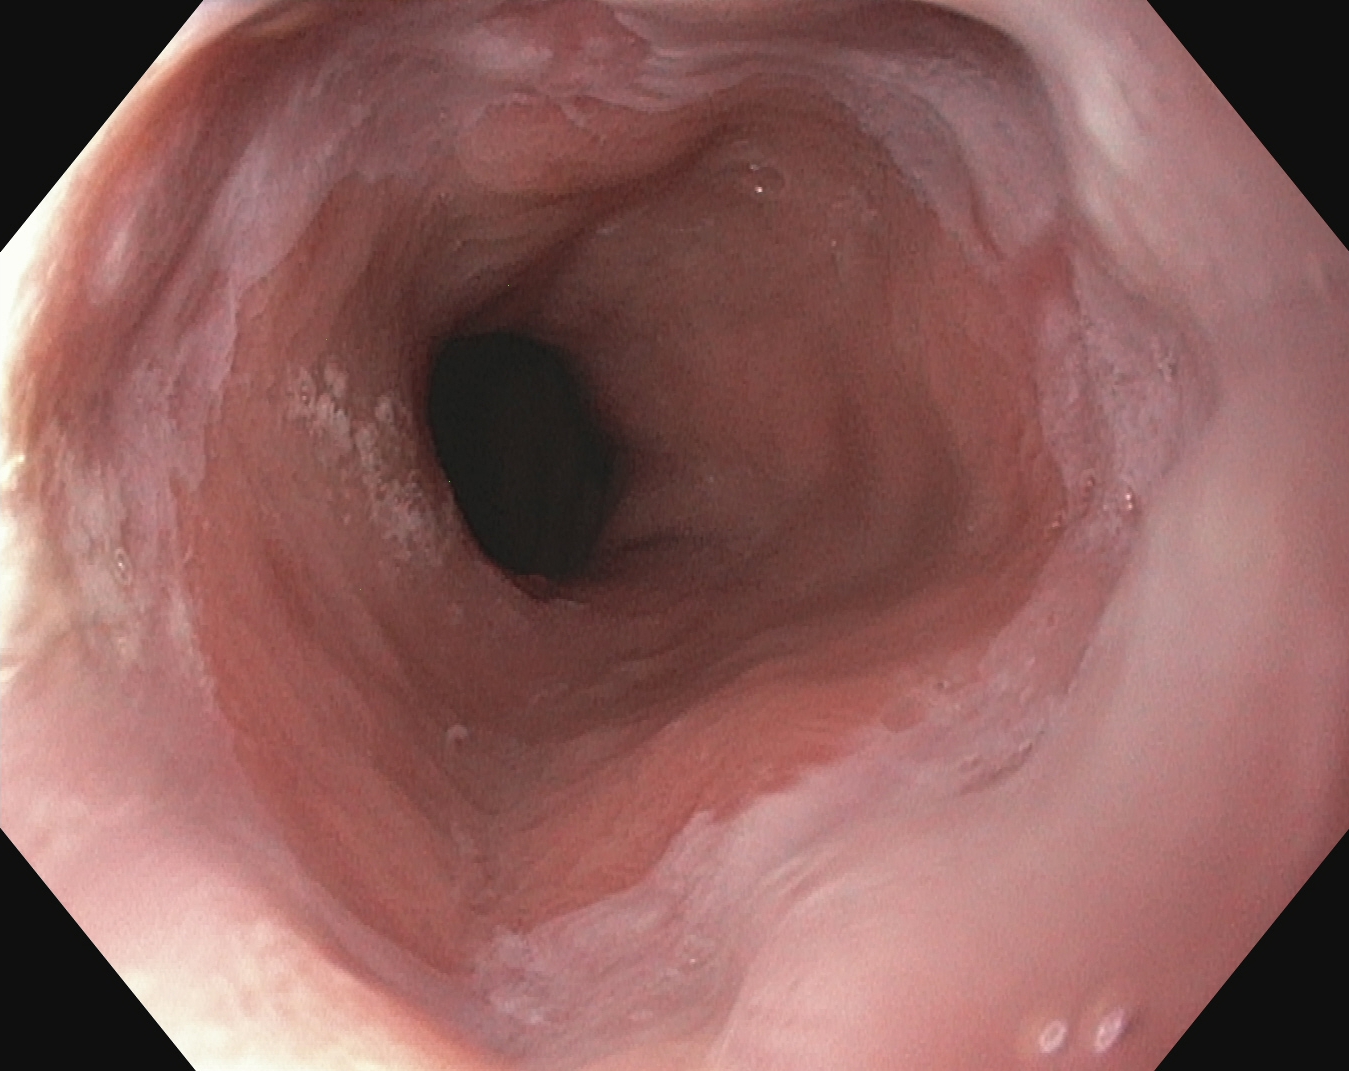modality: EGD | category: pathological finding | finding: reflux esophagitis, Los Angeles grade A